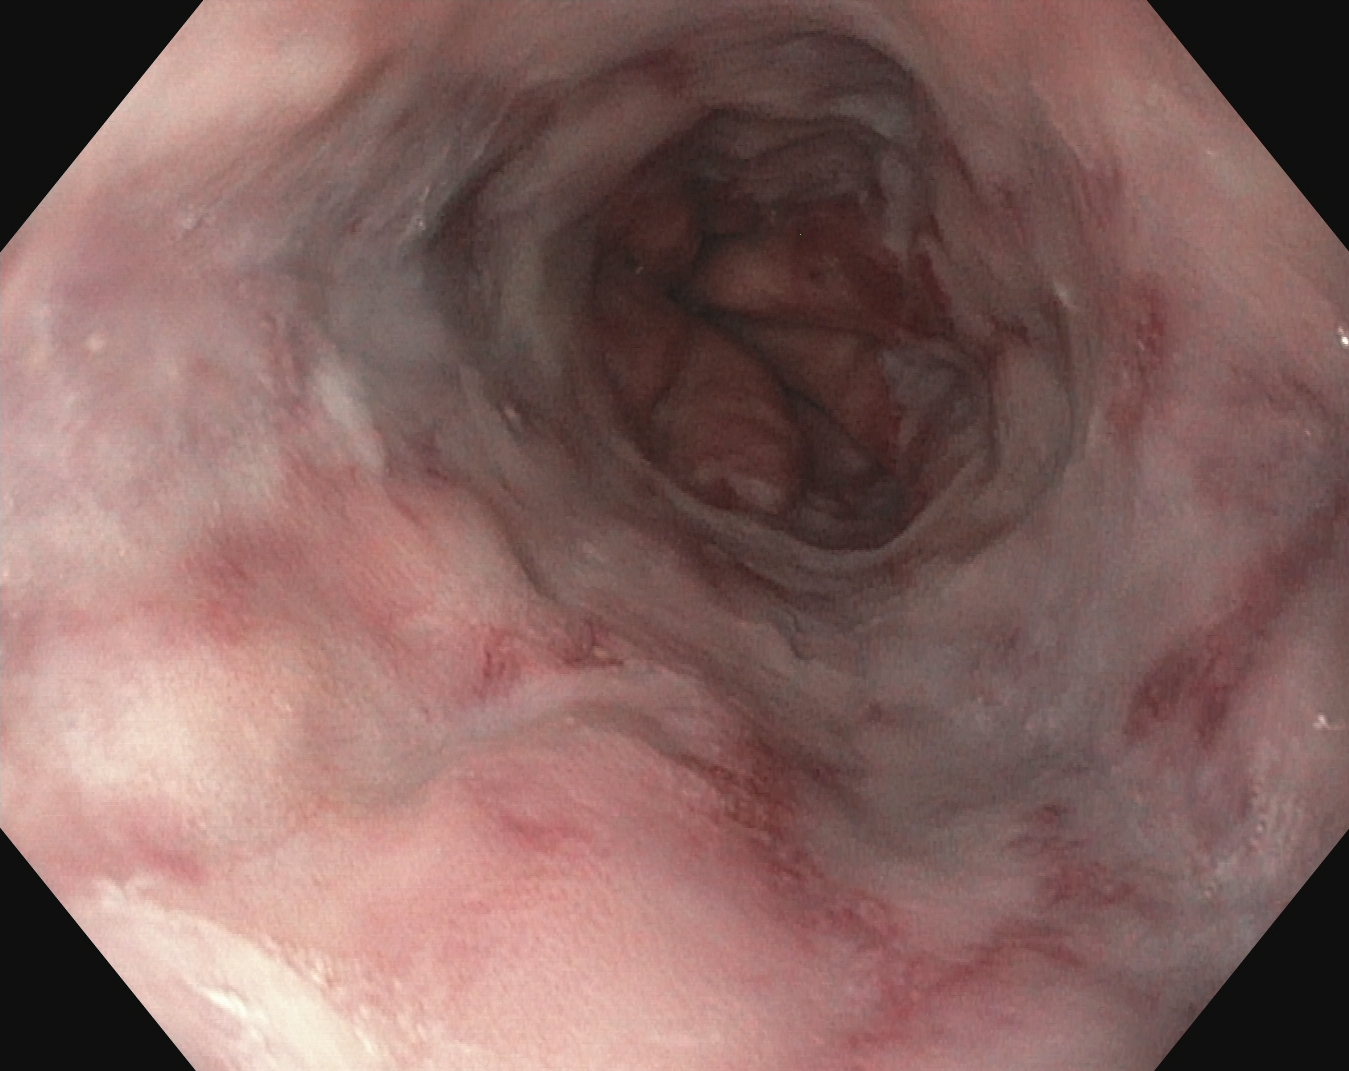This endoscopic image of the upper GI tract shows reflux esophagitis, LA grade B–D.